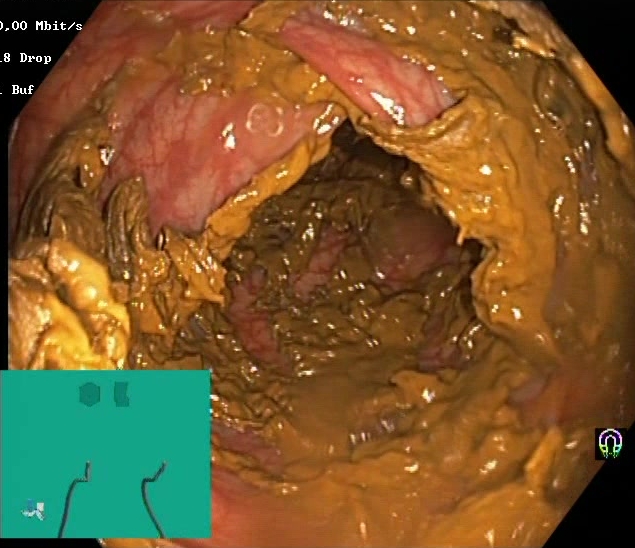BBPS score 0–1 (inadequate preparation).